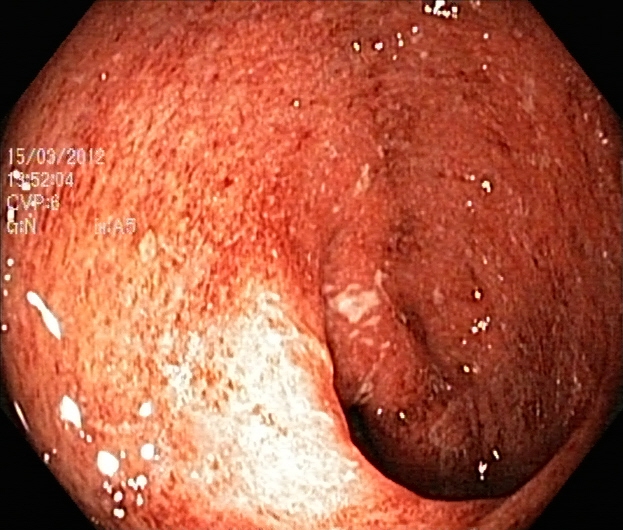This endoscopic image shows ulcerative colitis, Mayo endoscopic subscore 2–3.